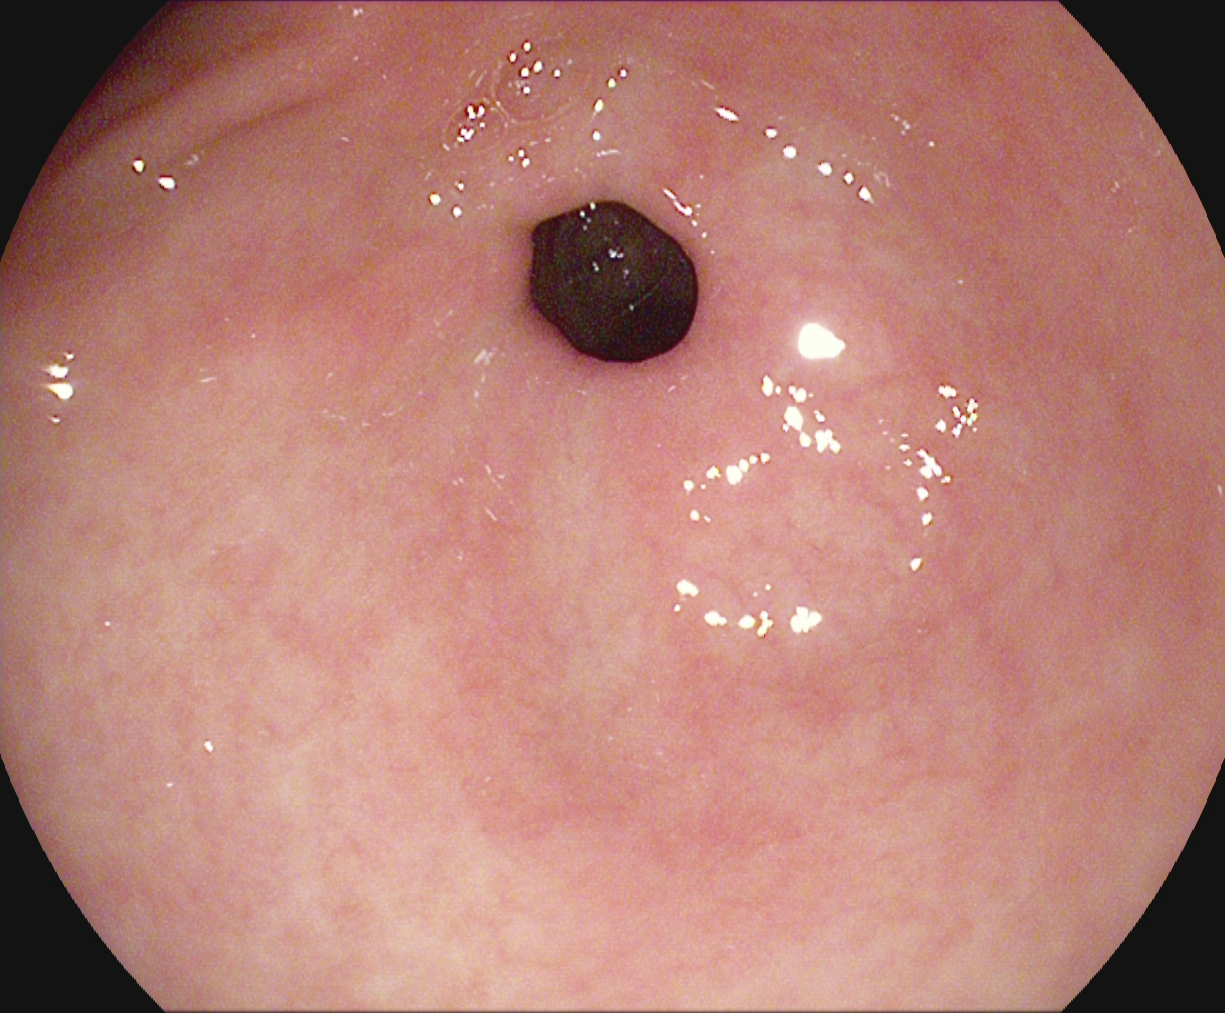pylorus.